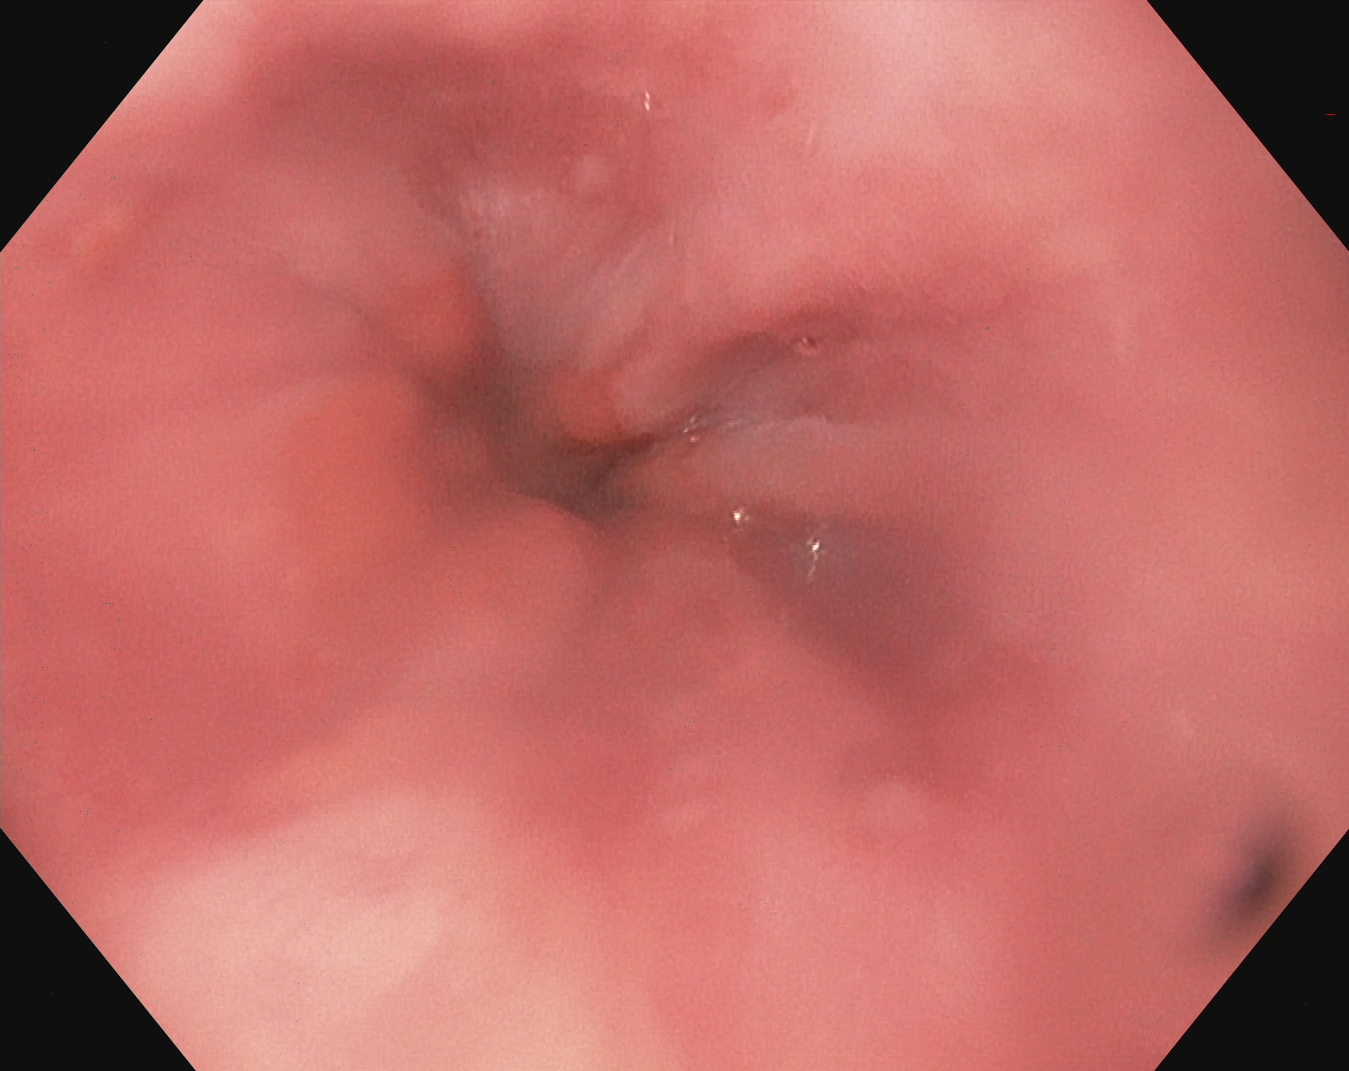Gastroscopy image showing Z-line (gastroesophageal junction).